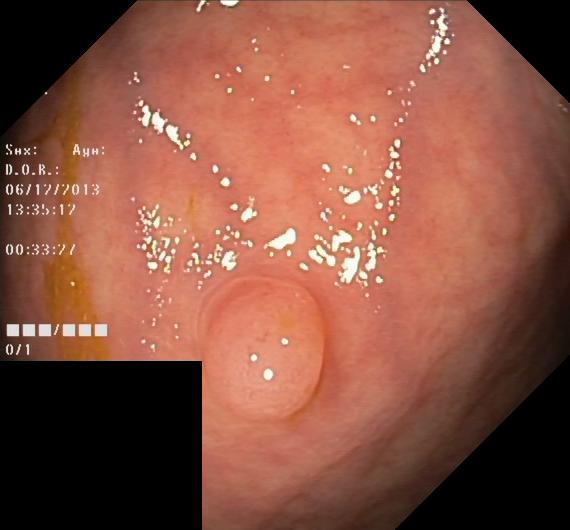{"modality": "lower-GI endoscopy", "tract": "lower GI tract", "finding": "colorectal polyp(s)"}